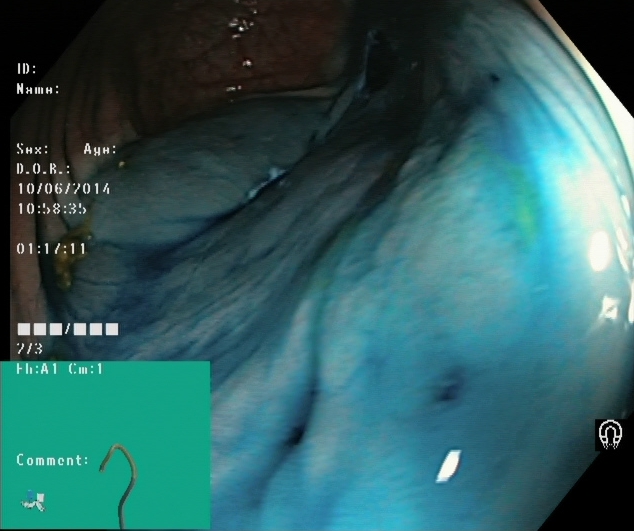modality: lower gastrointestinal endoscopy; tract: lower GI tract; finding: dyed and lifted polyp (pre-resection)